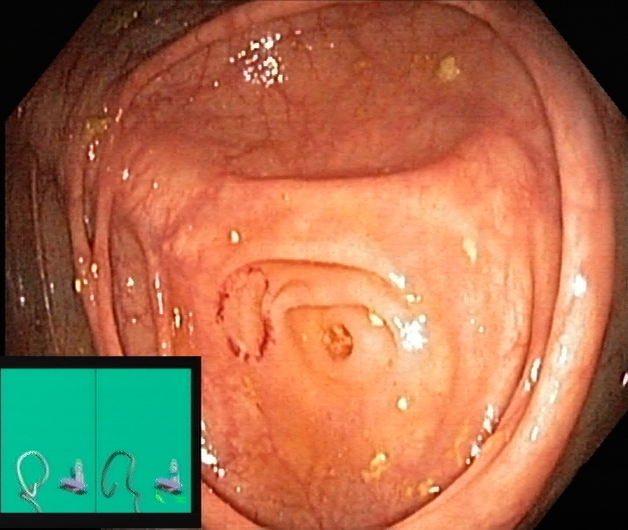Cecum.